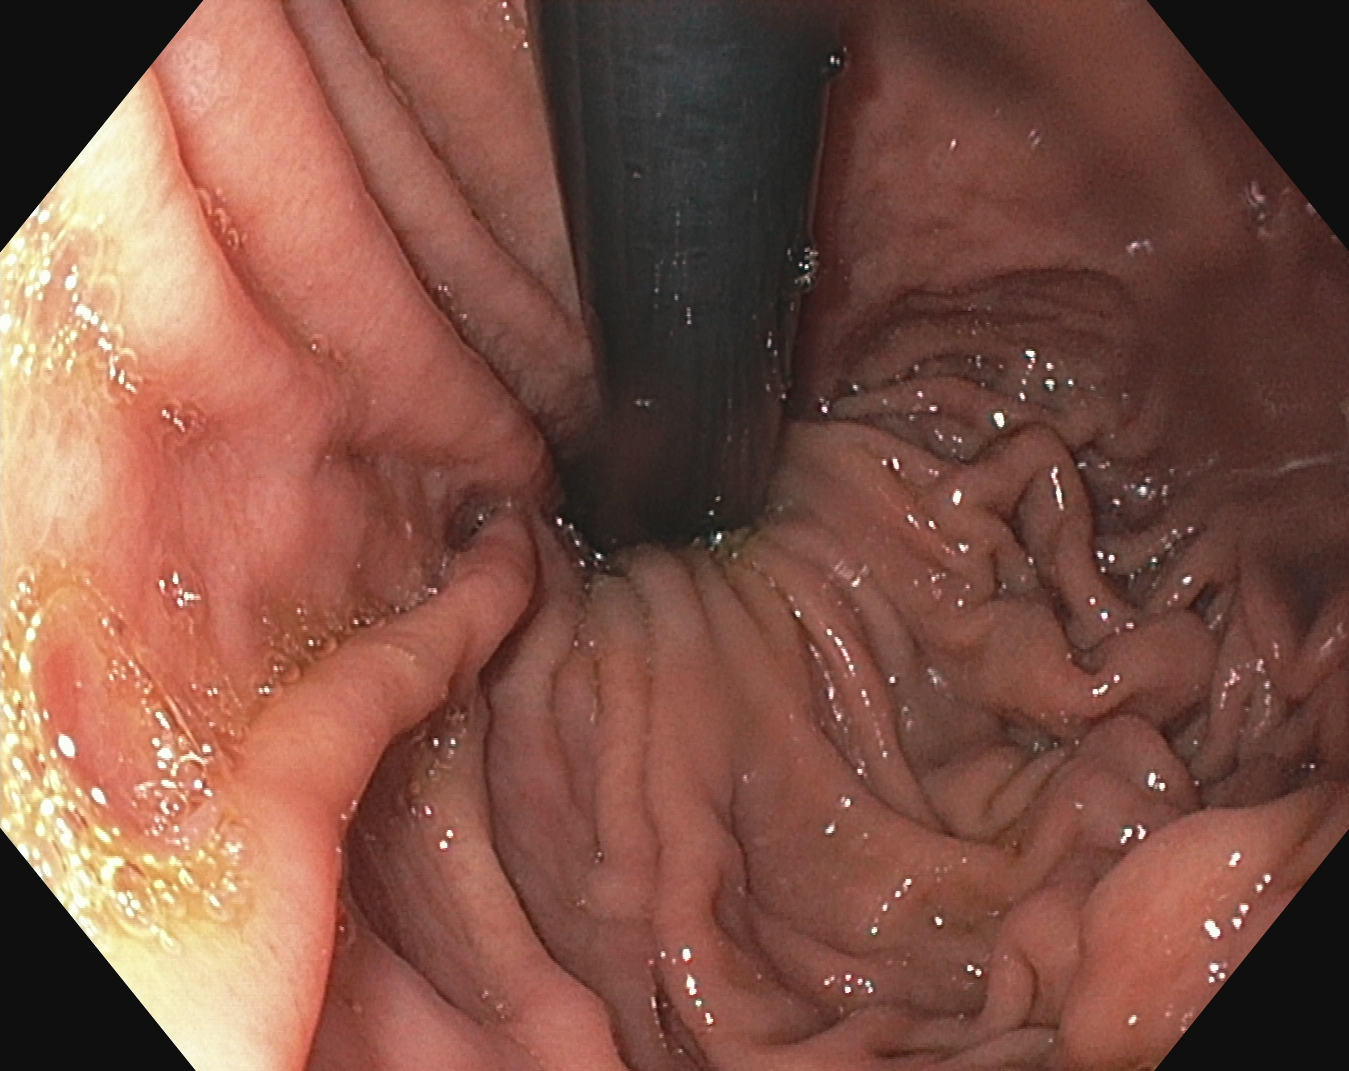This endoscopic image of the upper GI tract shows stomach in retroflexion.